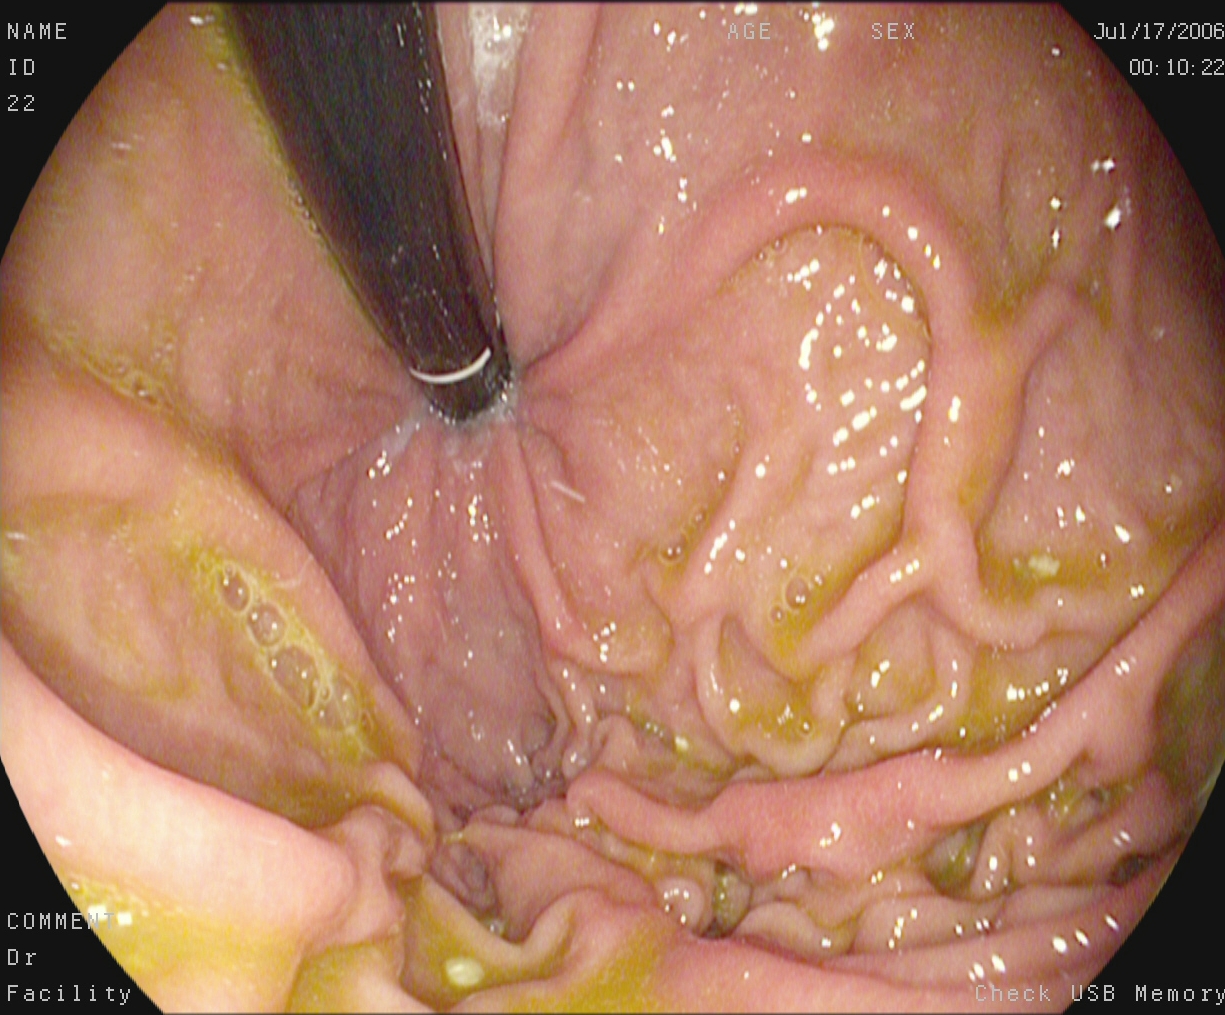{"modality": "esophagogastroduodenoscopy", "tract": "upper GI tract", "category": "anatomical landmark", "finding": "stomach in retroflexion"}